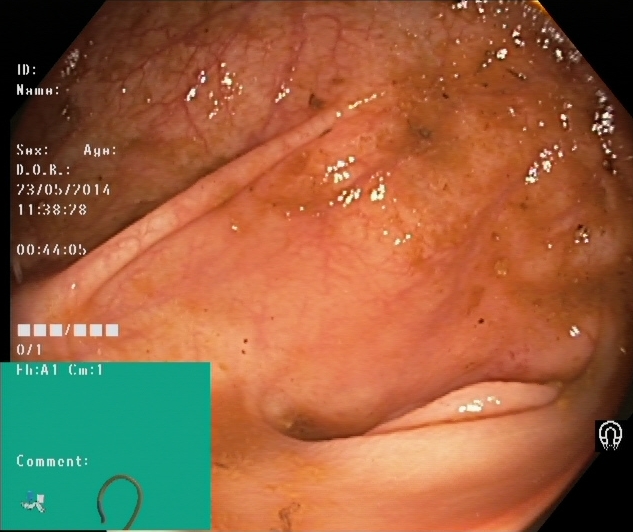Lower gastrointestinal endoscopy. Tract: lower GI tract. Anatomical landmark. Finding: cecum.